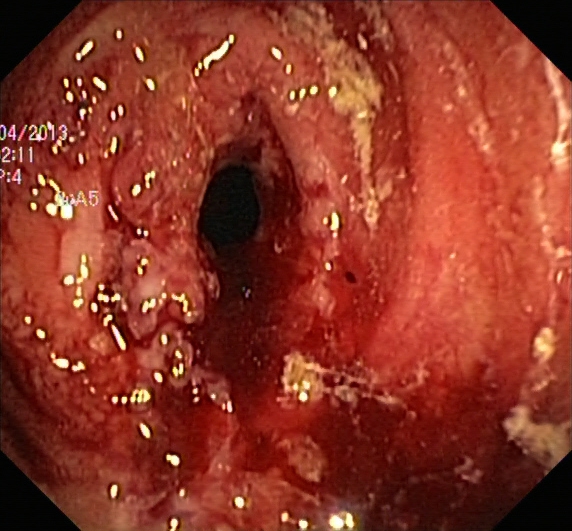Ulcerative colitis, Mayo endoscopic subscore 3.